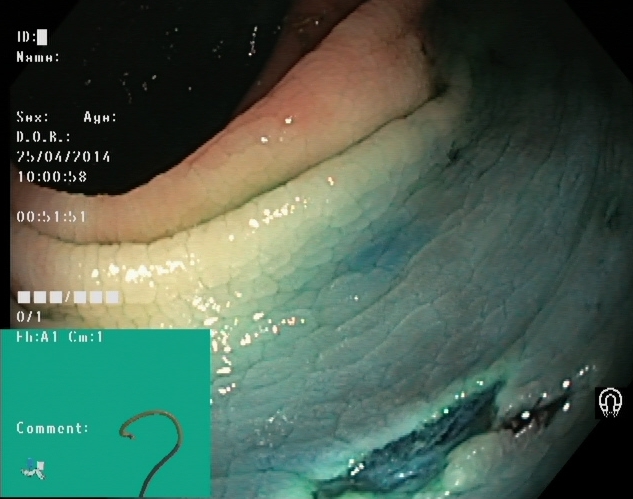Endoscopic image of the lower GI tract showing dyed resection margins (post-polypectomy).